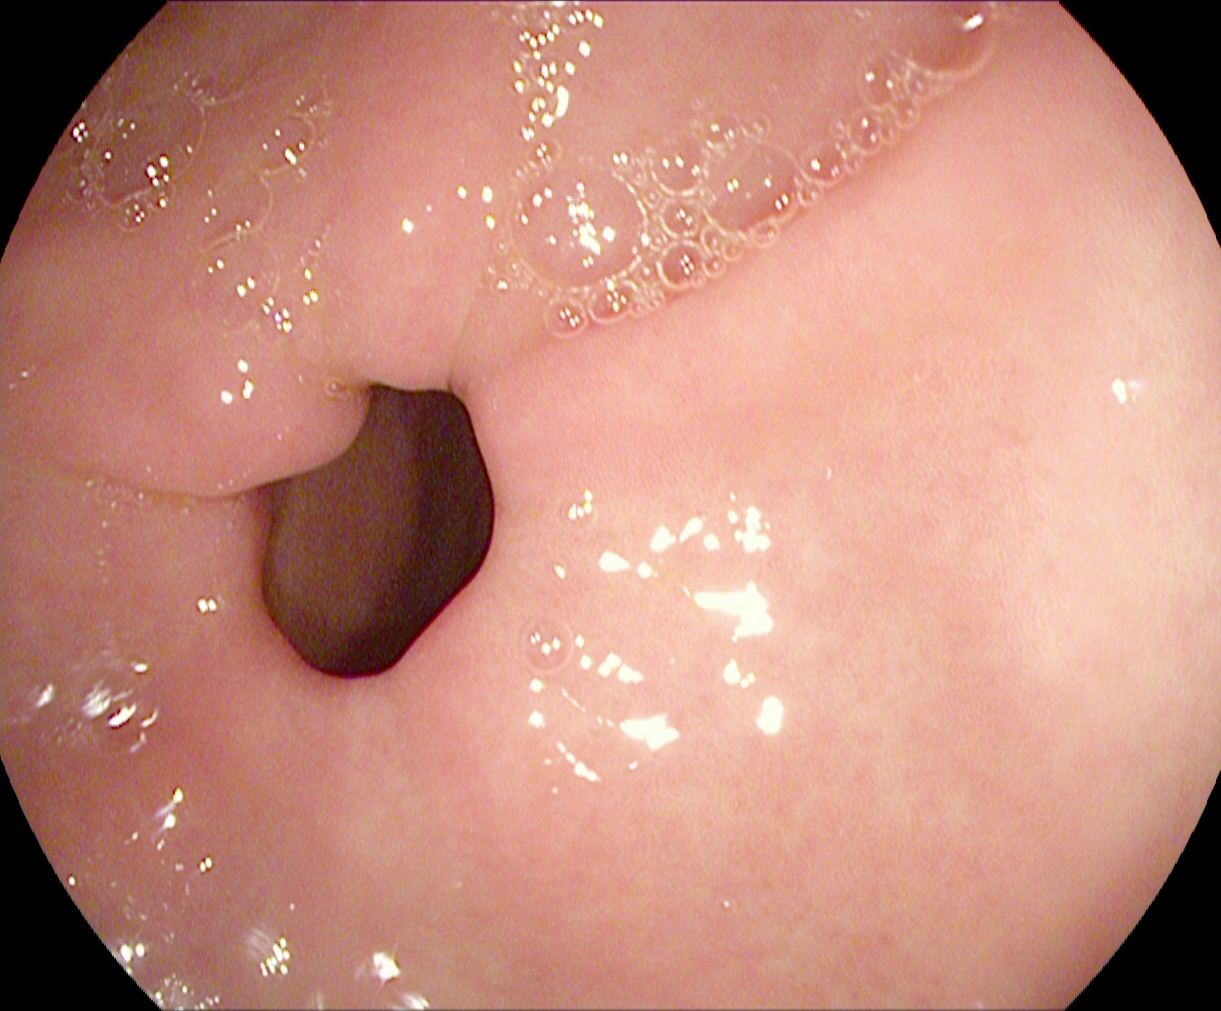Pylorus.